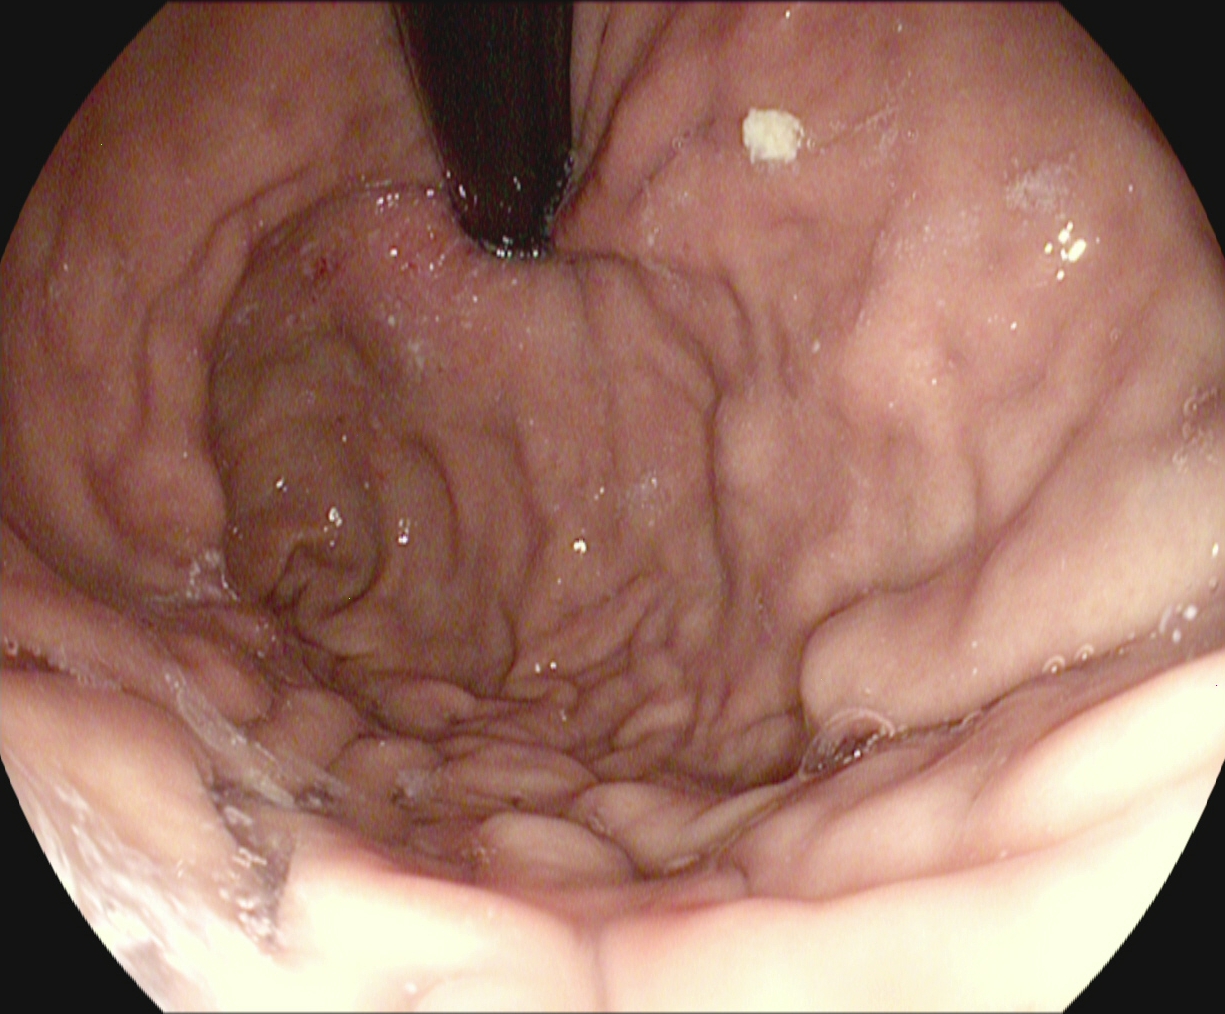{"modality": "esophagogastroduodenoscopy", "category": "anatomical landmark", "finding": "stomach in retroflexion"}